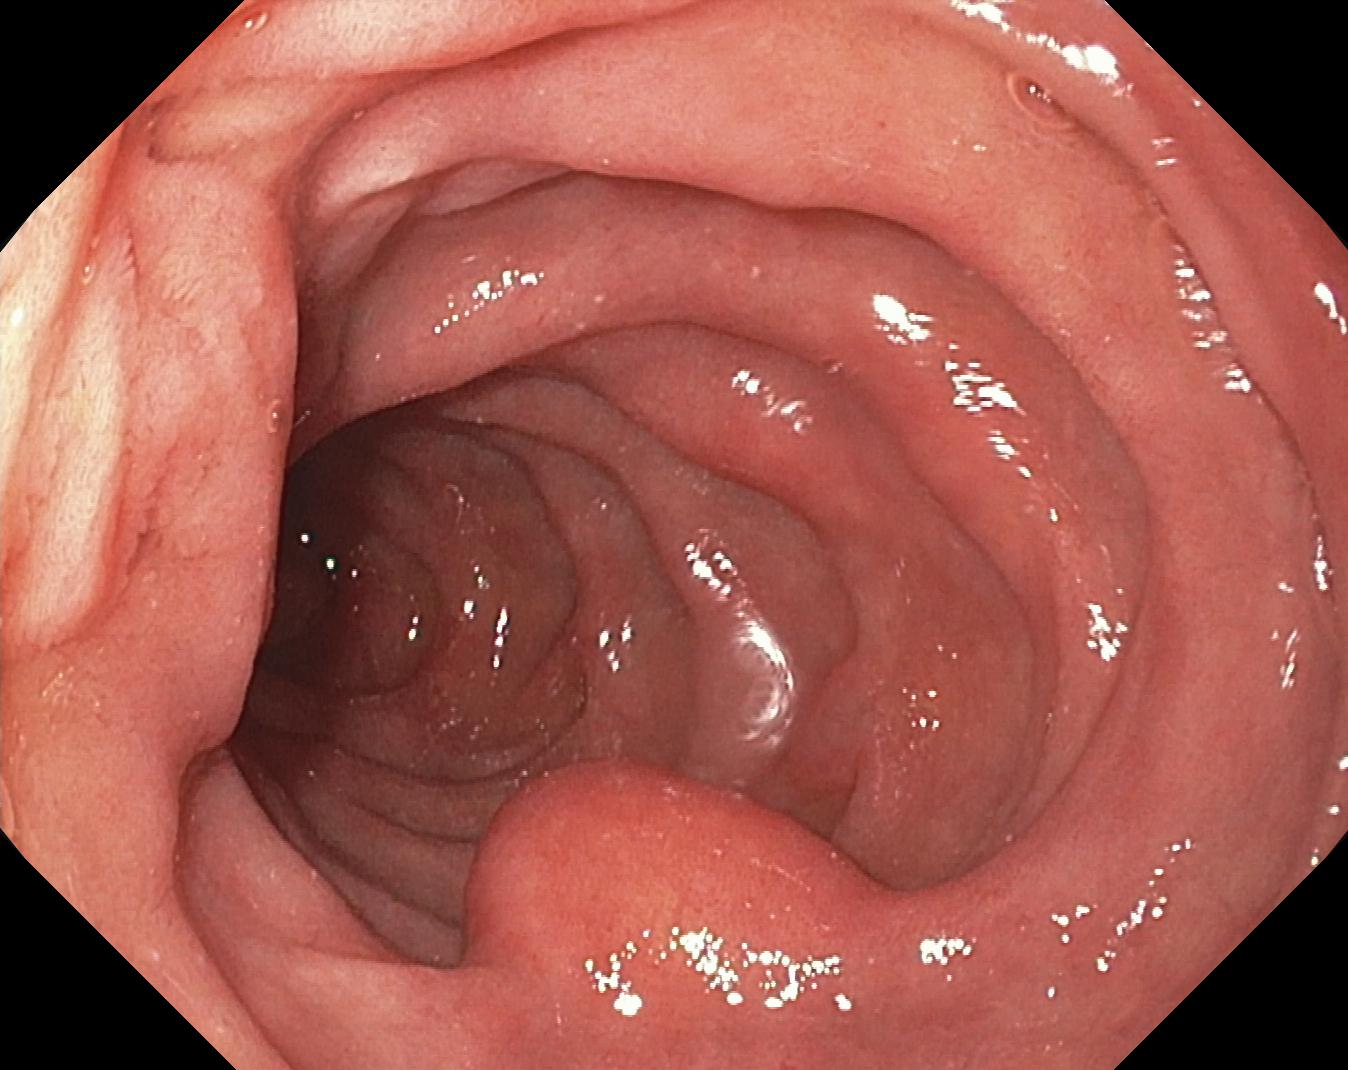PROCEDURE: Colonoscopy.
CATEGORY: Pathological finding.
FINDINGS: Colorectal polyp(s).